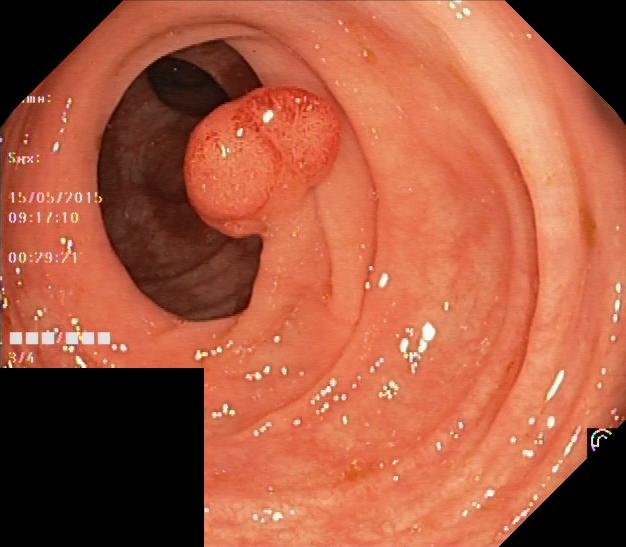PROCEDURE: Lower-GI endoscopy.
CATEGORY: Pathological finding.
FINDINGS: Colorectal polyp(s).